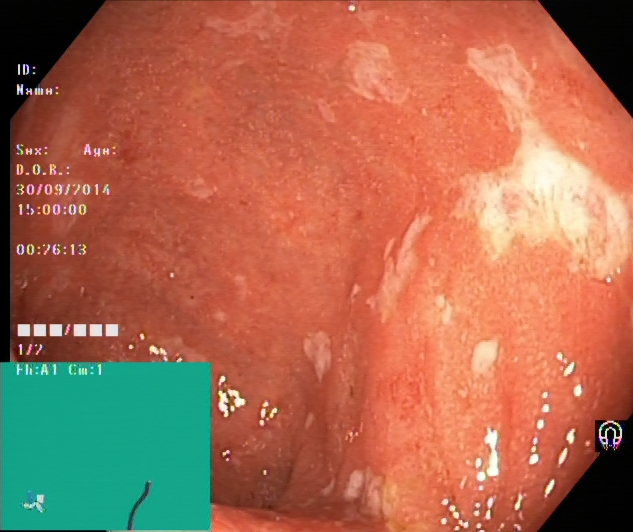Ulcerative colitis, Mayo endoscopic subscore 2.